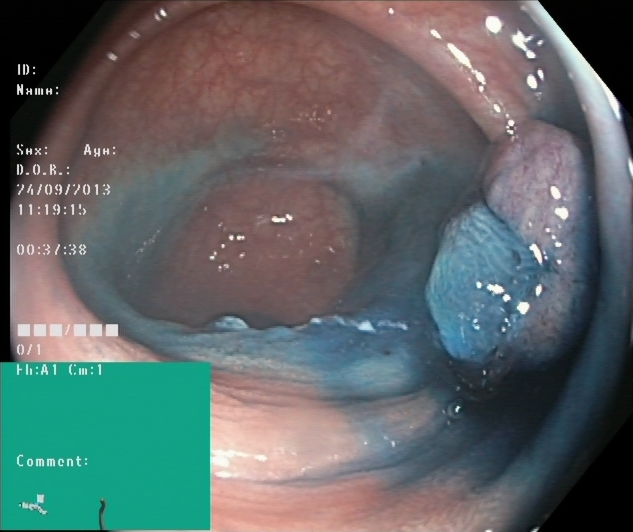modality: lower-GI endoscopy
finding: dyed and lifted polyp (pre-resection)